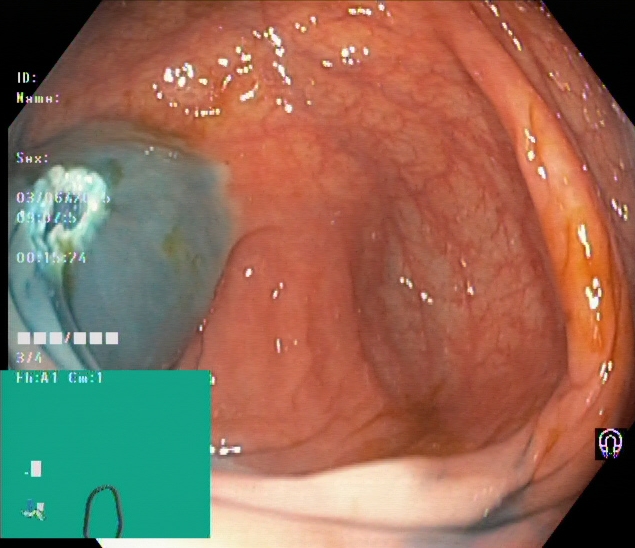PROCEDURE: Colonoscopy.
CATEGORY: Therapeutic intervention.
FINDINGS: Dyed resection margins (post-polypectomy).